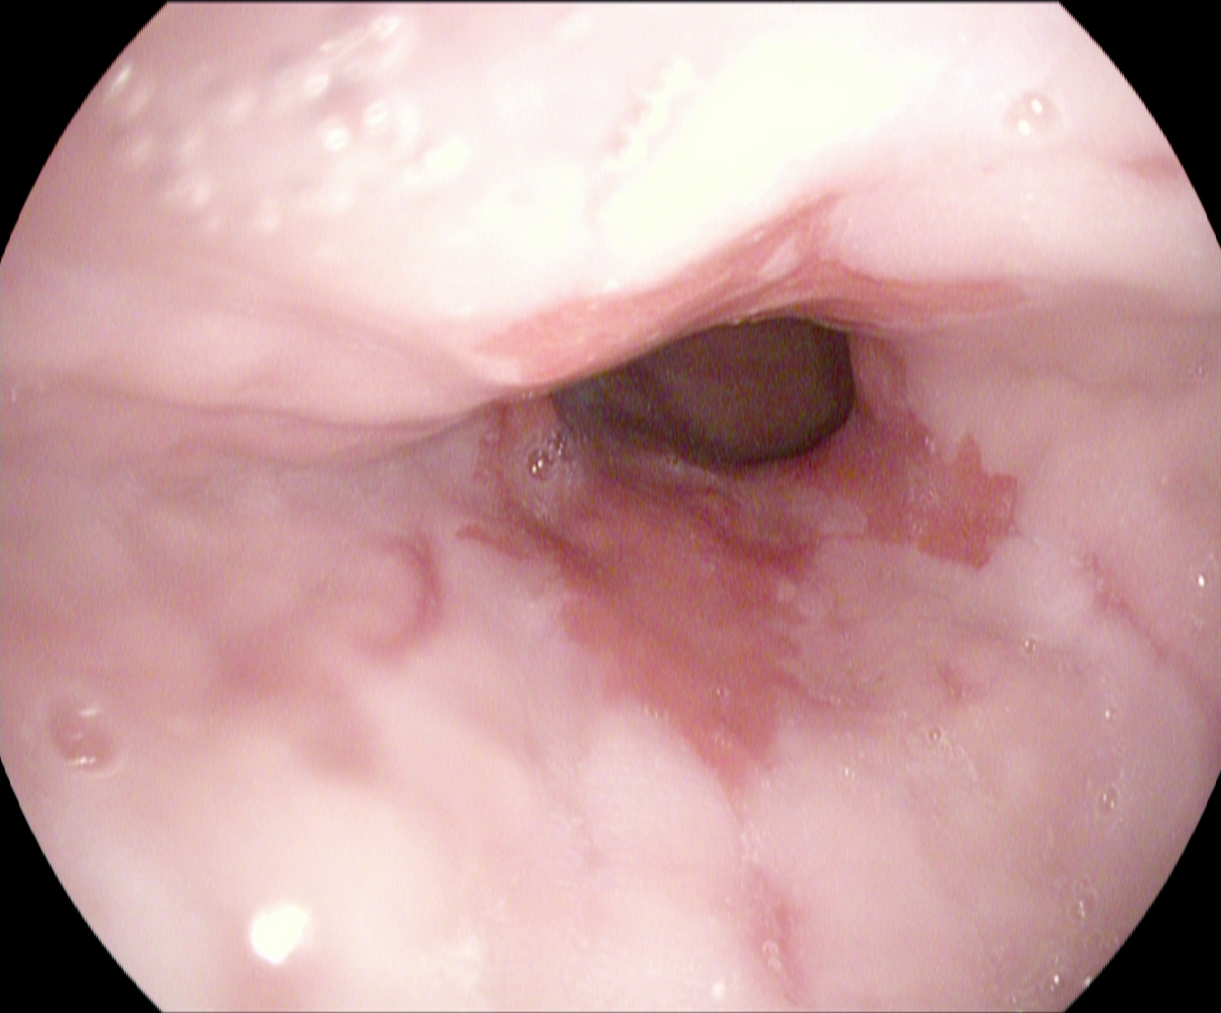This endoscopy frame shows reflux esophagitis, LA grade A.